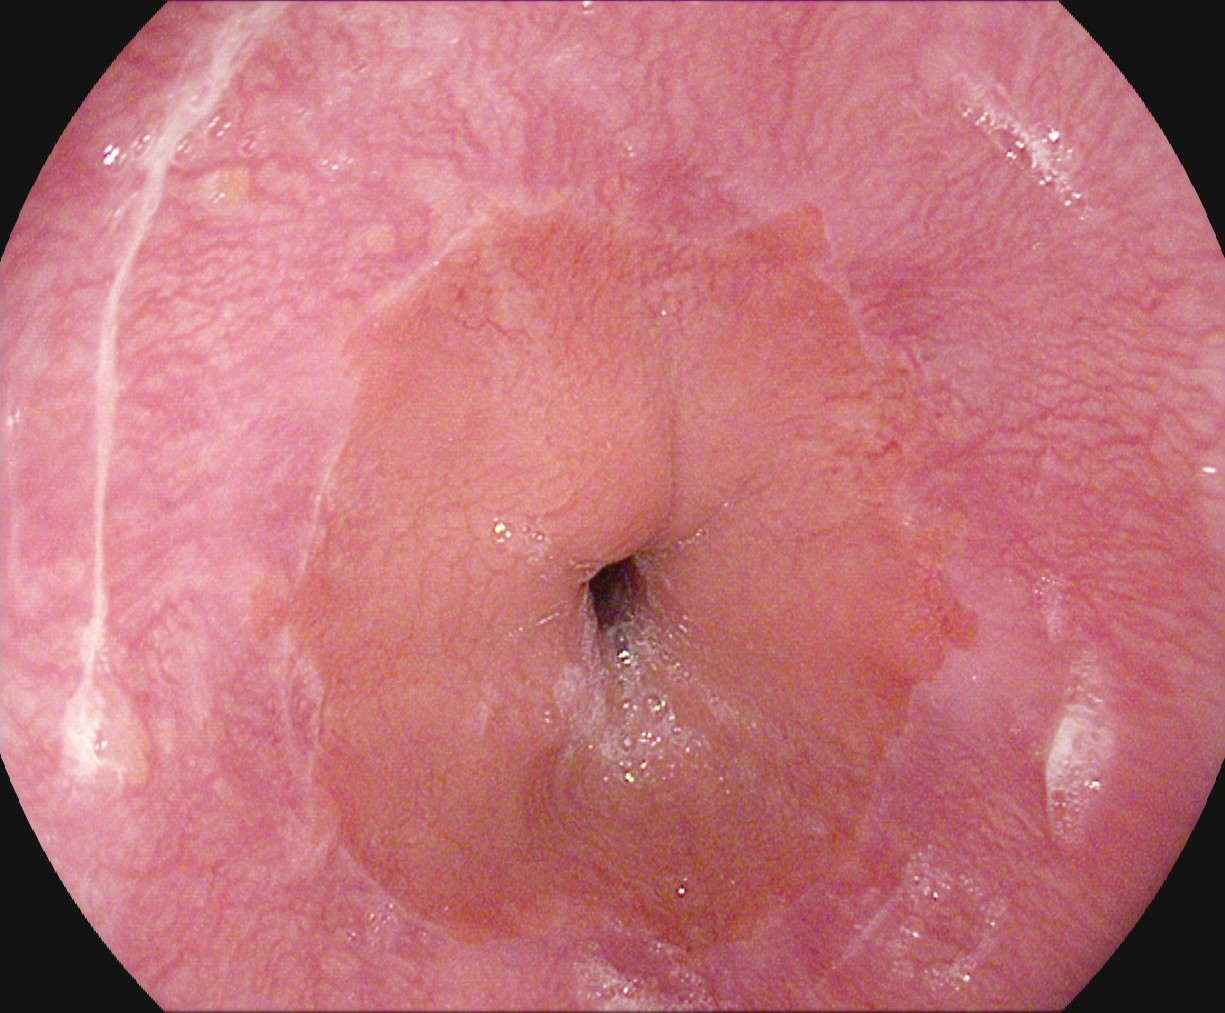This endoscopy frame shows Z-line (gastroesophageal junction).